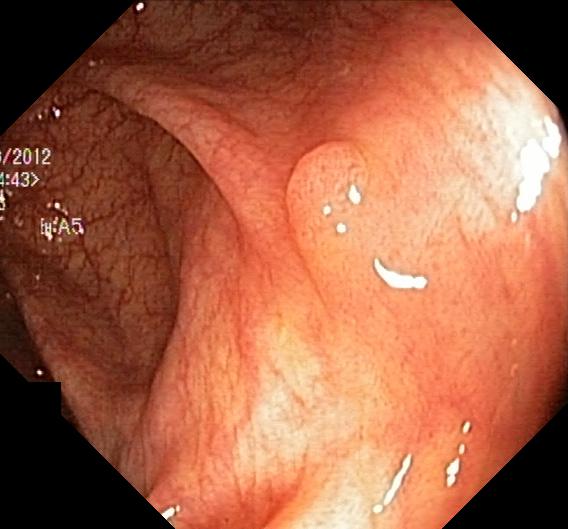Endoscopic image showing colorectal polyp(s).